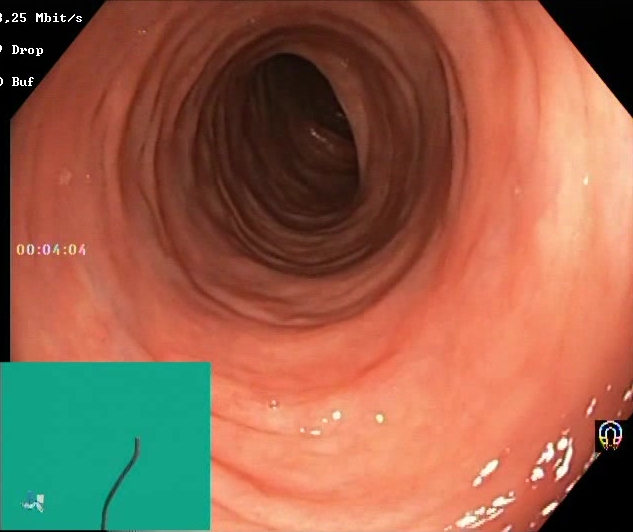PROCEDURE: Lower gastrointestinal endoscopy.
CATEGORY: Mucosal-view quality.
FINDINGS: Boston Bowel Preparation Scale score 2–3 (adequate preparation).